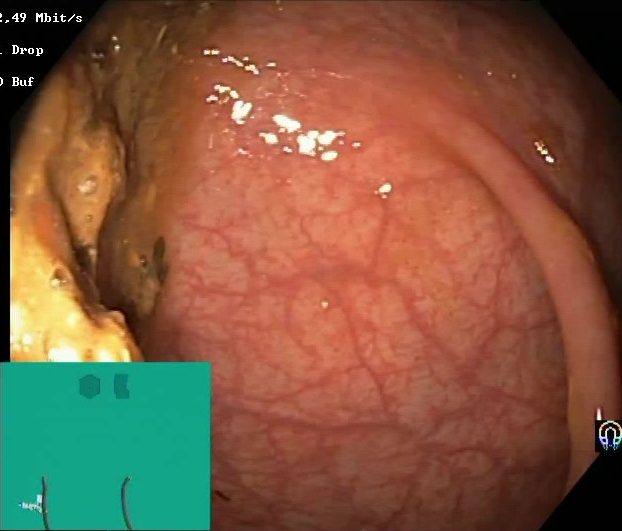This endoscopy frame of the lower GI tract shows BBPS score 0–1 (inadequate preparation).